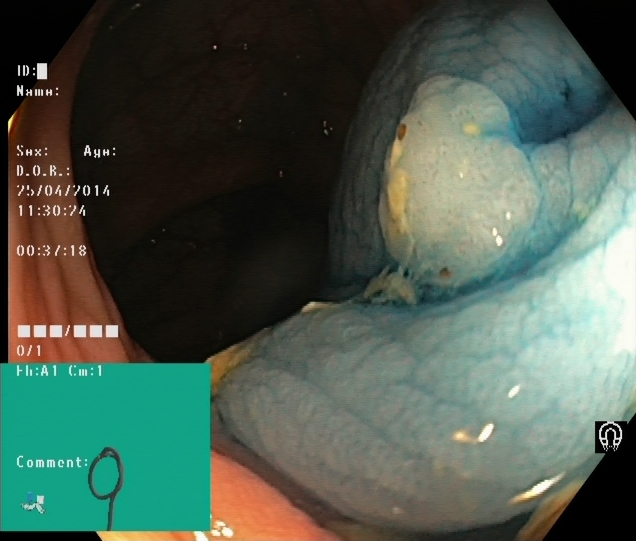Lower-GI endoscopy image of the lower GI tract showing dyed and lifted polyp (pre-resection).